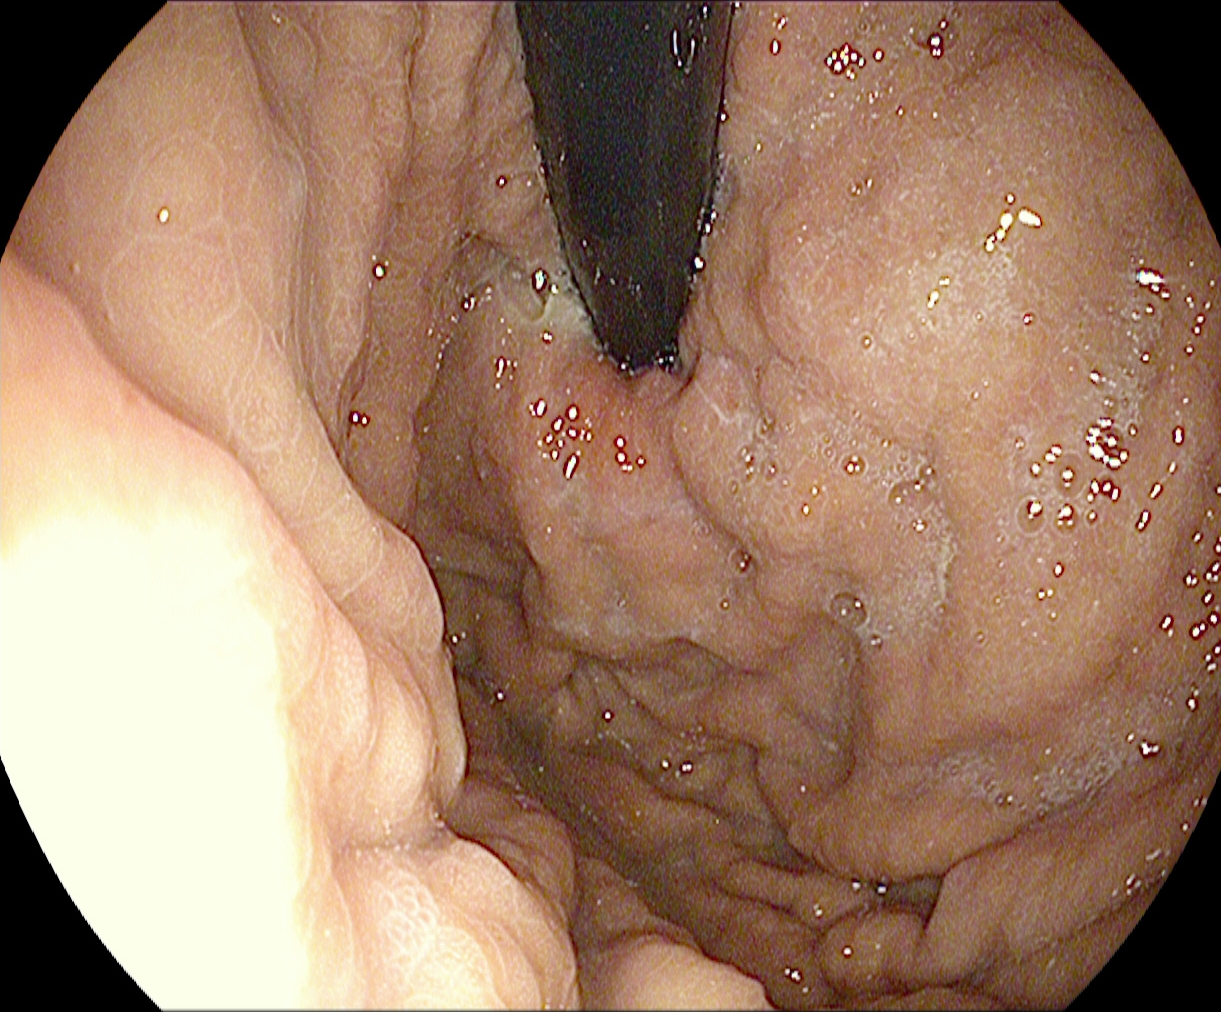This endoscopy frame of the upper GI tract shows stomach in retroflexion.